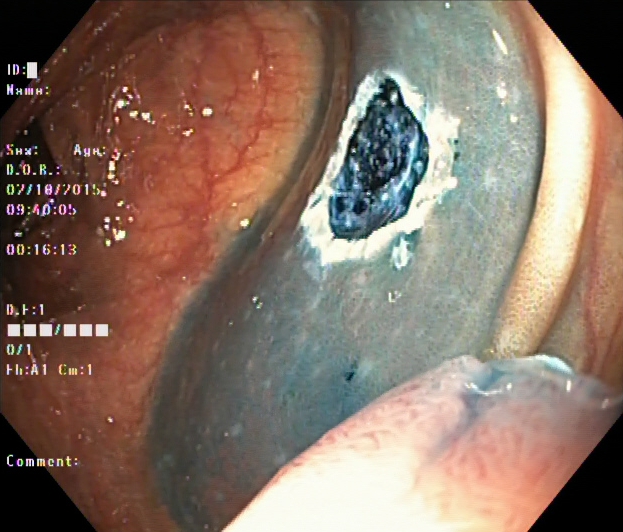This endoscopic image shows dyed resection margins (post-polypectomy).